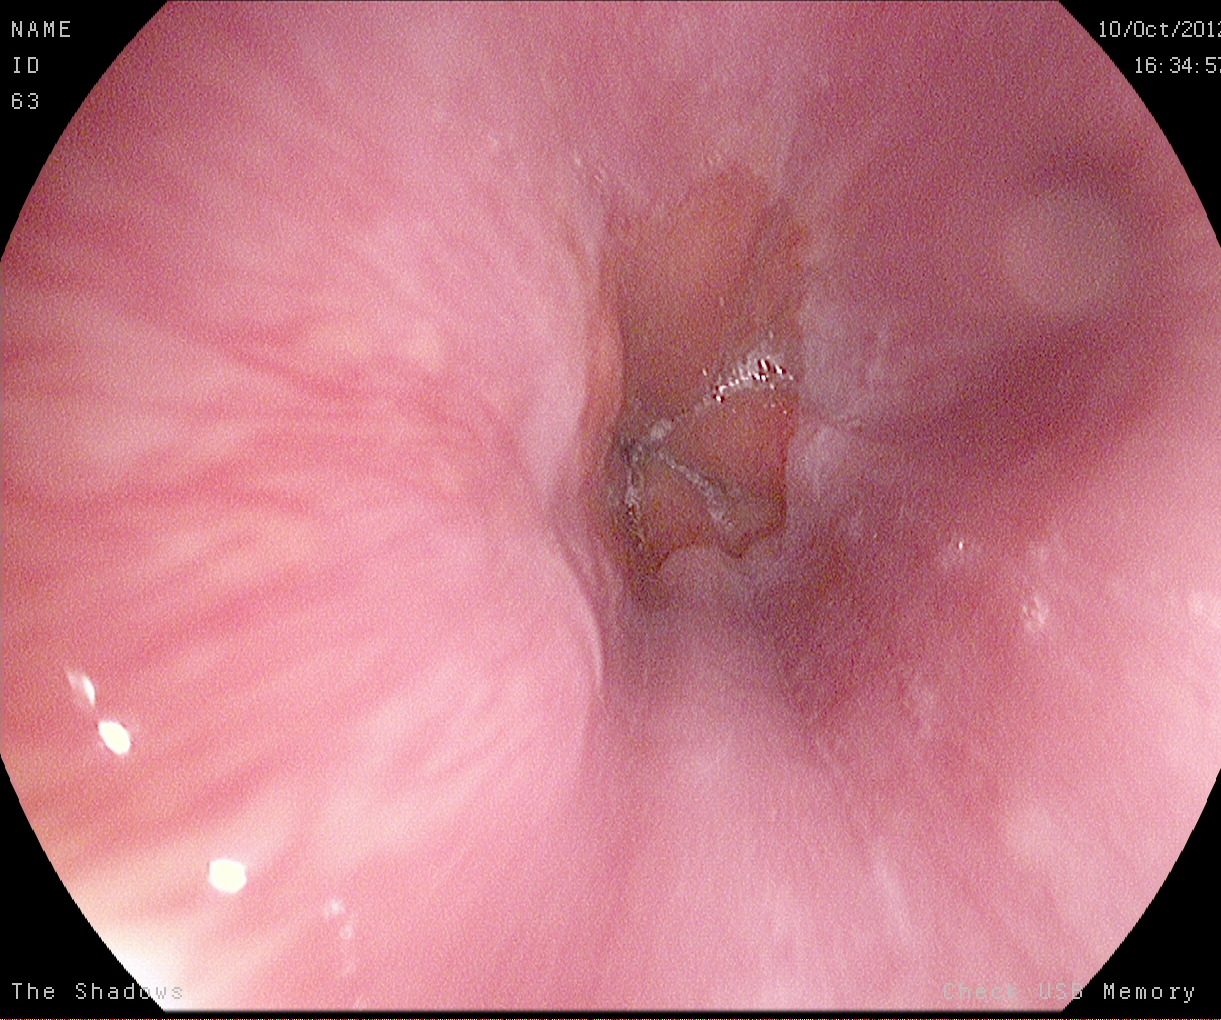{"modality": "upper-GI endoscopy", "category": "anatomical landmark", "finding": "Z-line (gastroesophageal junction)"}